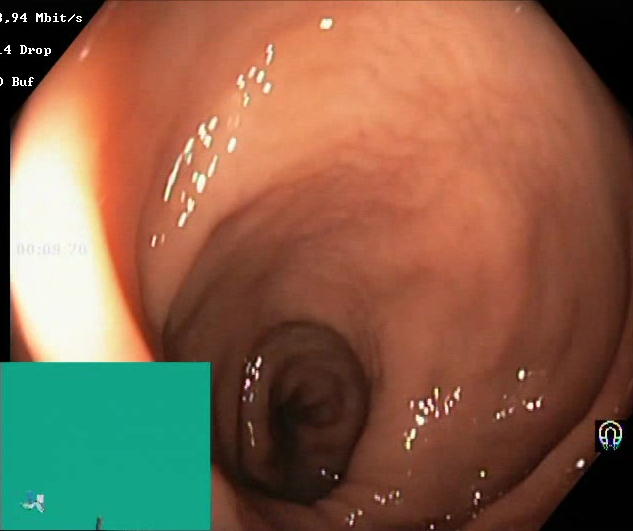Colonoscopy. Tract: lower GI tract. Mucosal-view quality. Finding: Boston Bowel Preparation Scale score 2–3 (adequate preparation).